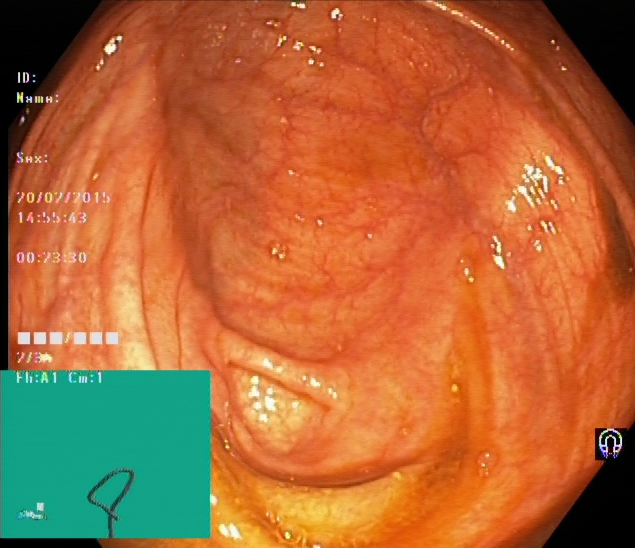modality: colonoscopy | tract: lower GI tract | category: anatomical landmark | finding: cecum